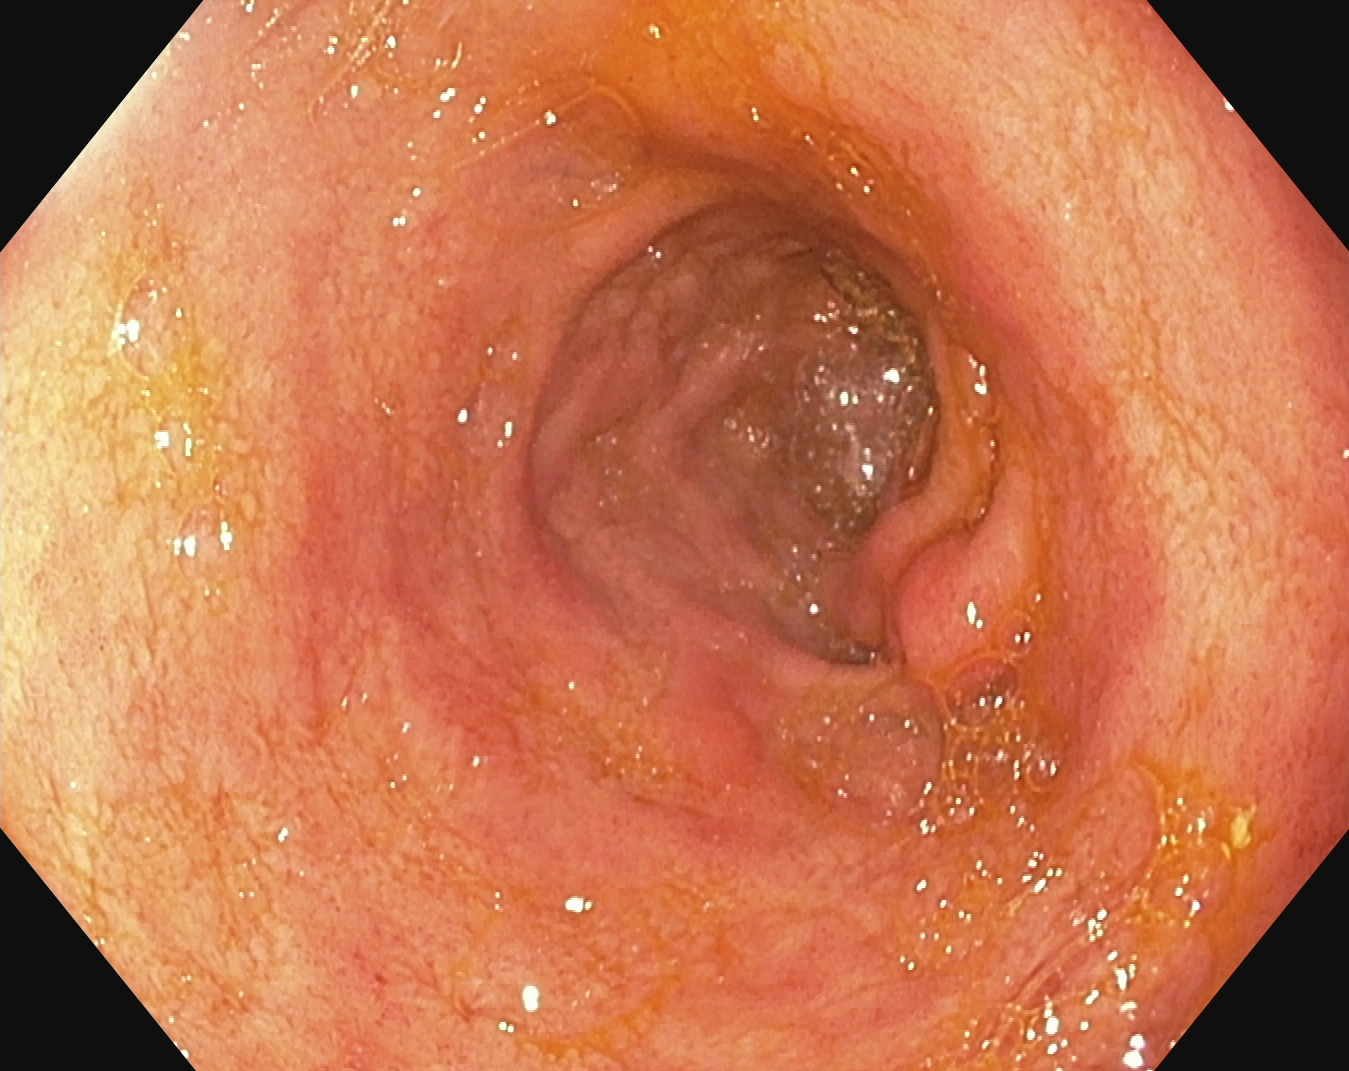This endoscopic image of the lower GI tract shows ulcerative colitis, Mayo endoscopic subscore 1.